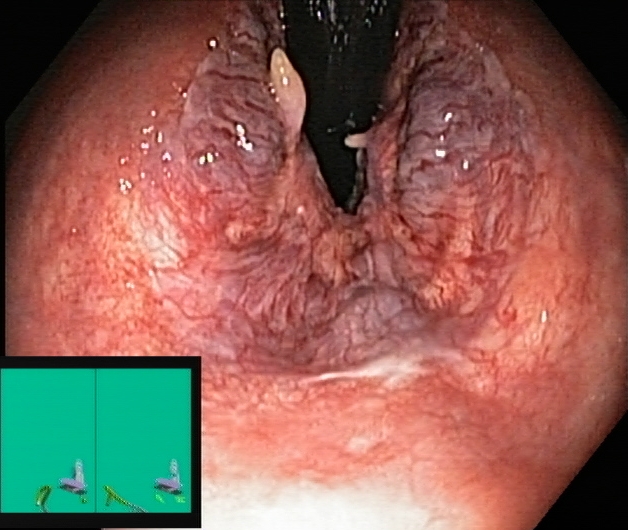{"modality": "lower gastrointestinal endoscopy", "category": "anatomical landmark", "finding": "rectum in retroflexion"}